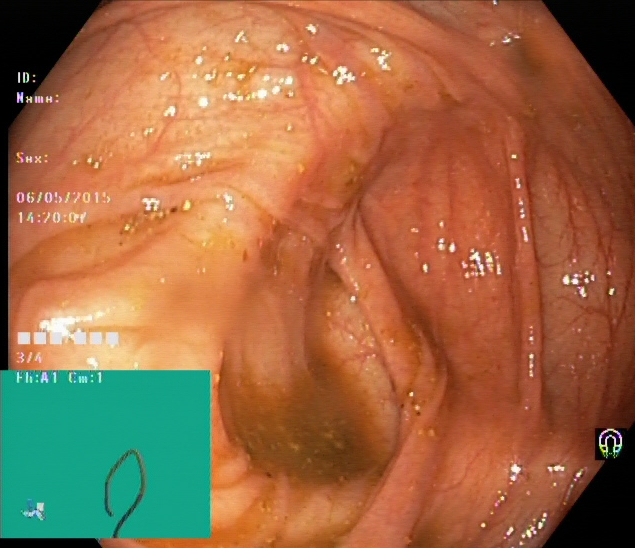PROCEDURE: Lower-GI endoscopy.
FINDINGS: Cecum.